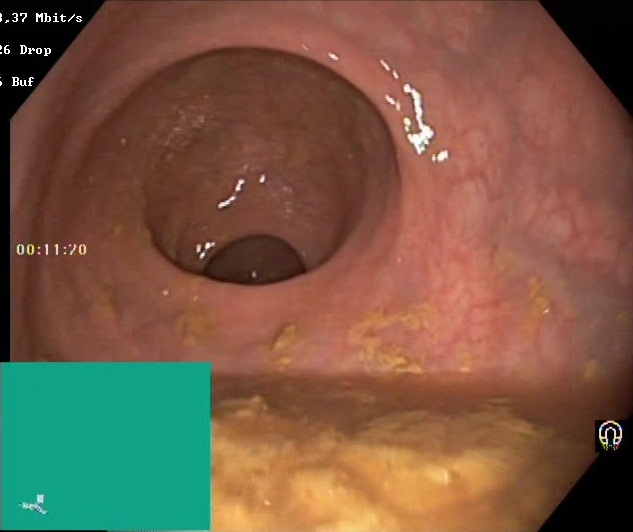Lower-GI endoscopy — BBPS score 0–1 (inadequate preparation).